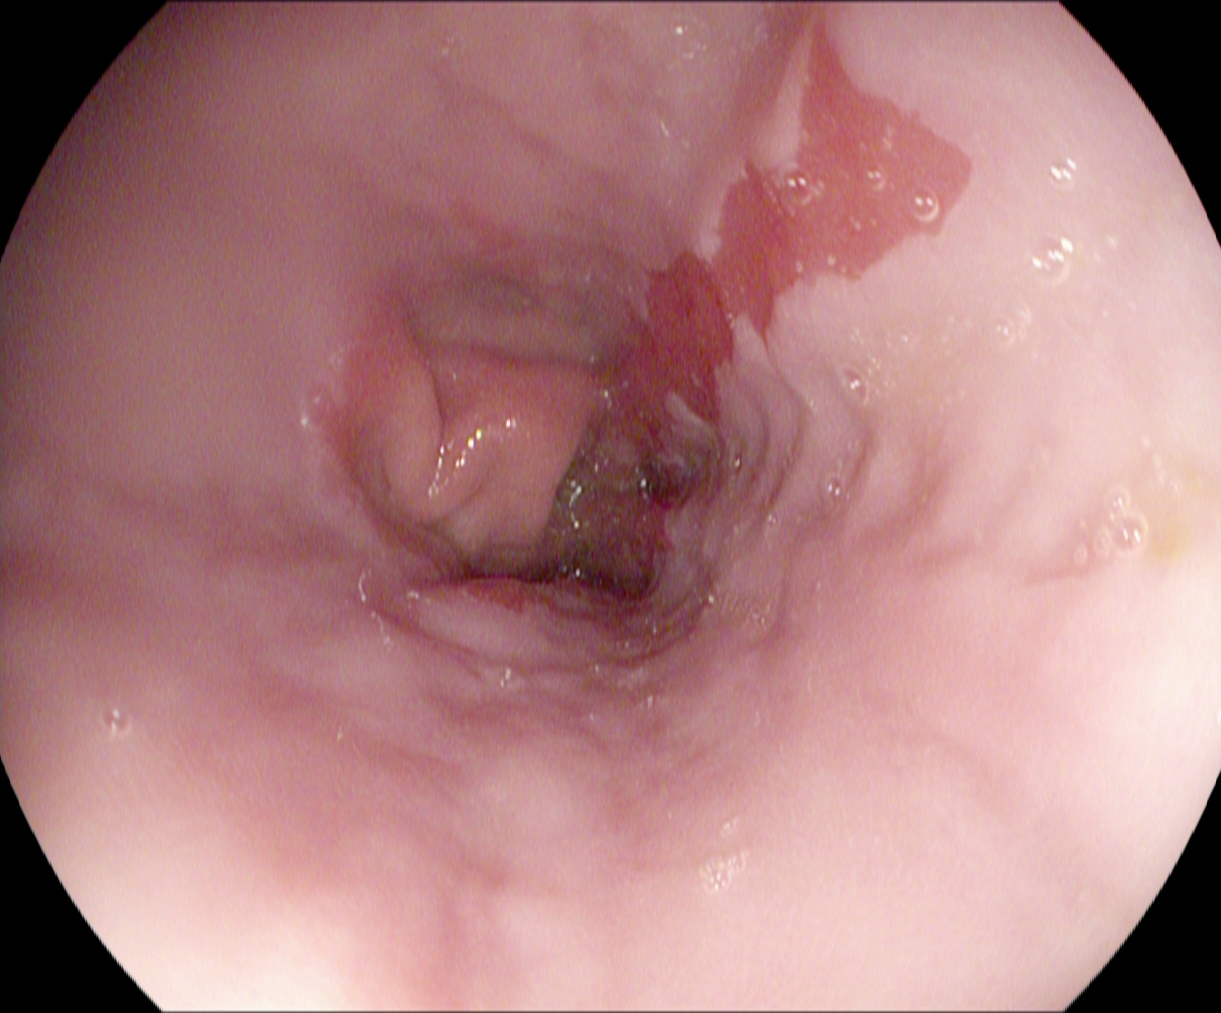PROCEDURE: Gastroscopy.
CATEGORY: Pathological finding.
FINDINGS: Barrett's esophagus, short segment.